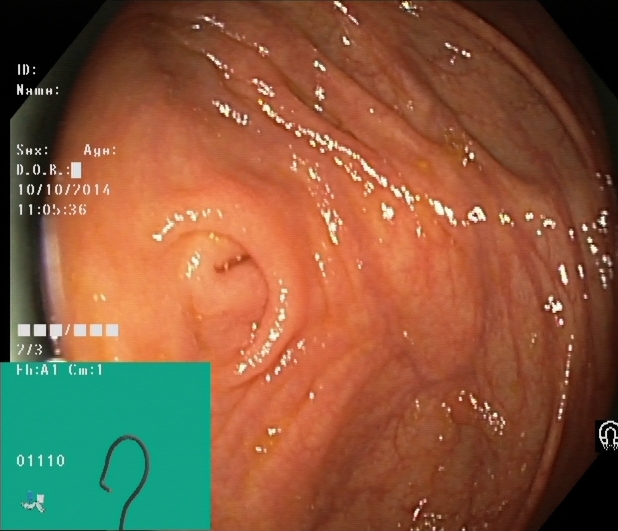This endoscopy frame shows cecum.